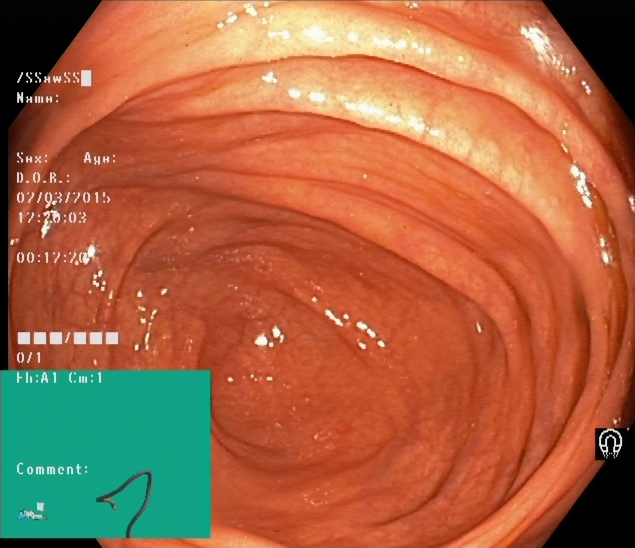PROCEDURE: Lower-GI endoscopy.
FINDINGS: Cecum.